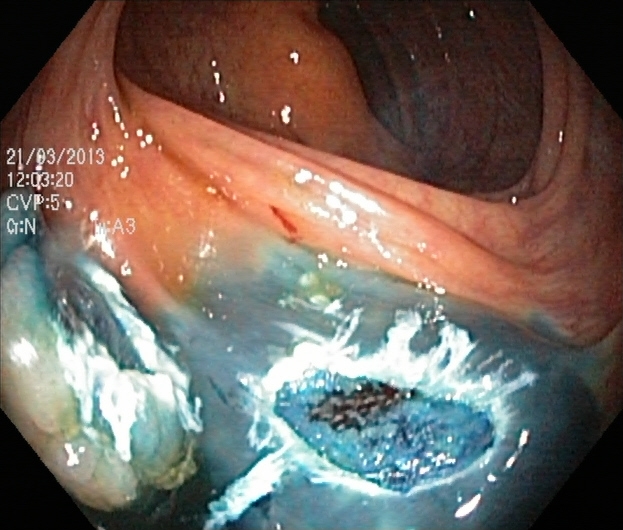PROCEDURE: Lower-GI endoscopy.
CATEGORY: Therapeutic intervention.
FINDINGS: Dyed resection margins (post-polypectomy).